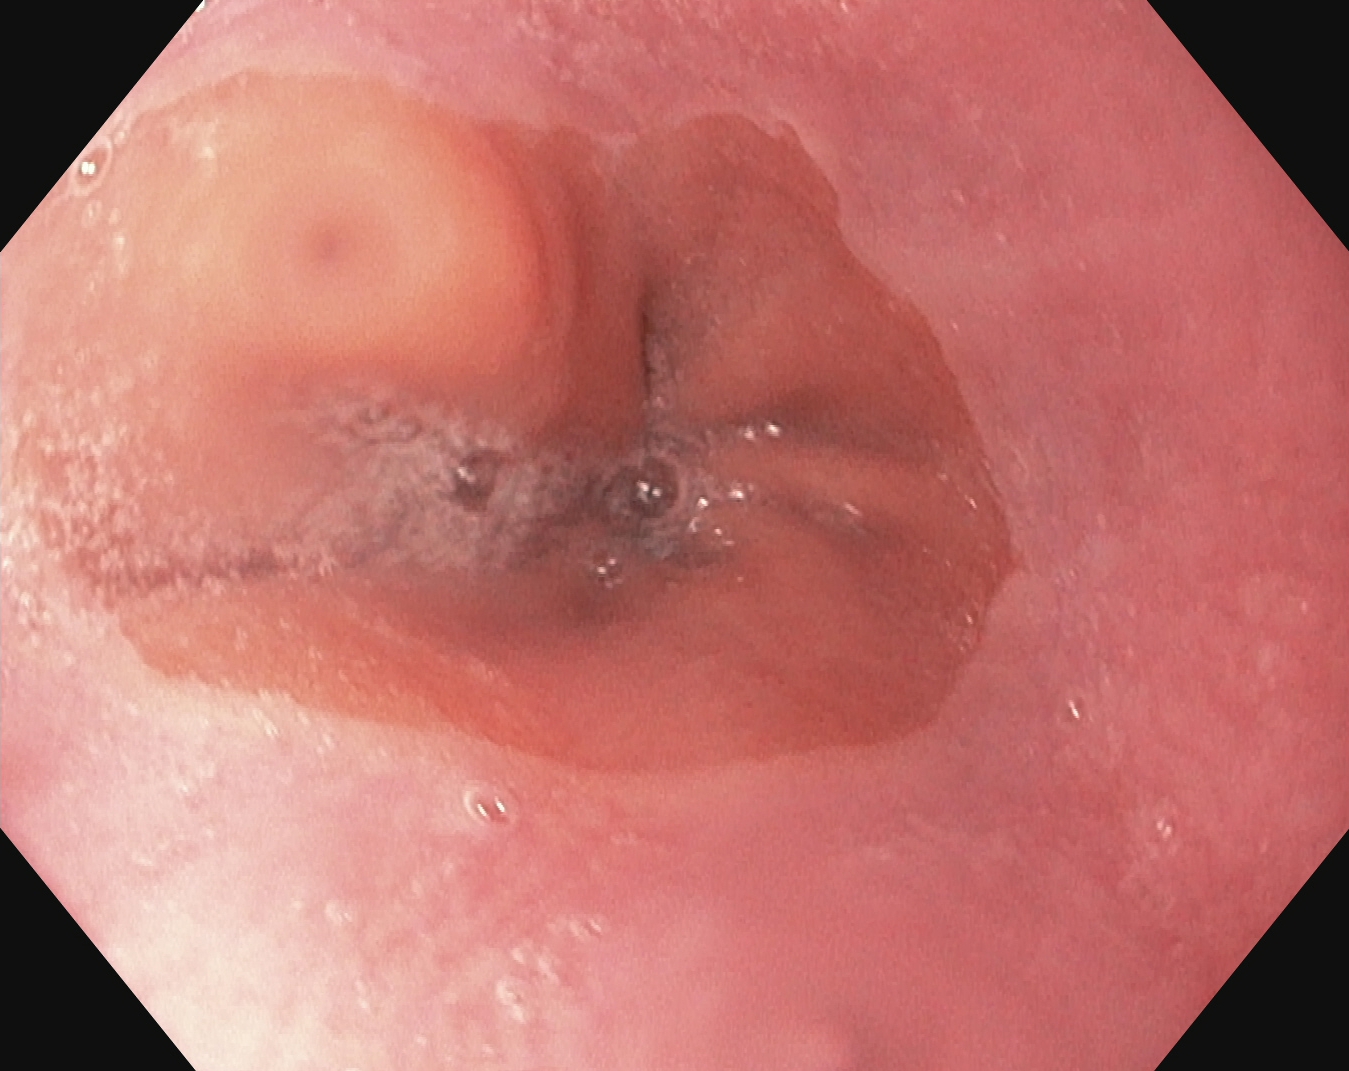Z-line (gastroesophageal junction).